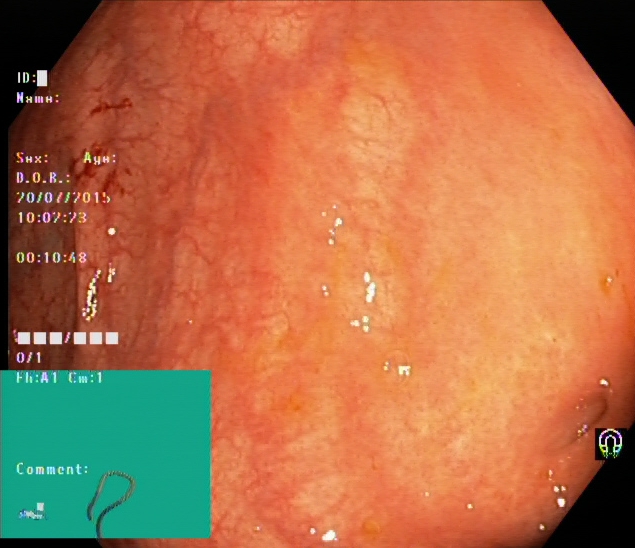Endoscopic image showing cecum.